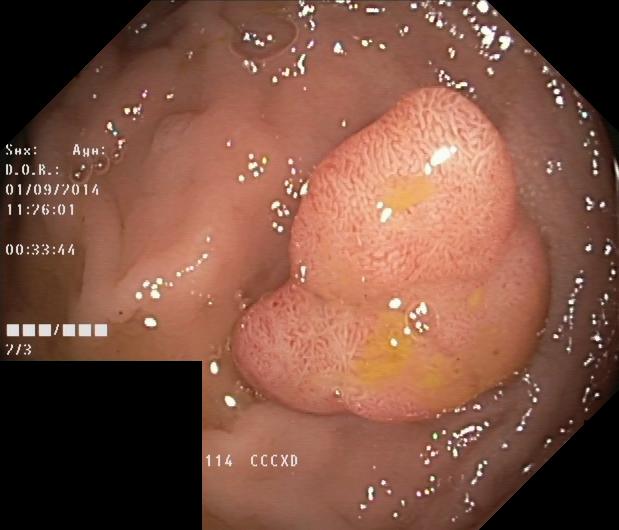PROCEDURE: Colonoscopy.
CATEGORY: Pathological finding.
FINDINGS: Colorectal polyp(s).